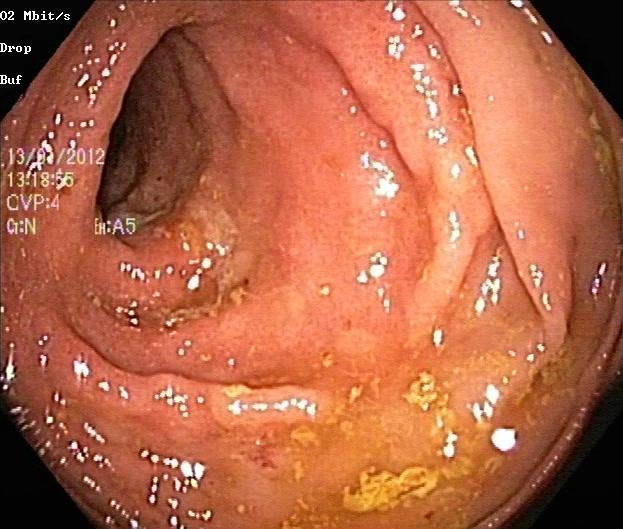Ulcerative colitis, Mayo endoscopic subscore 2.